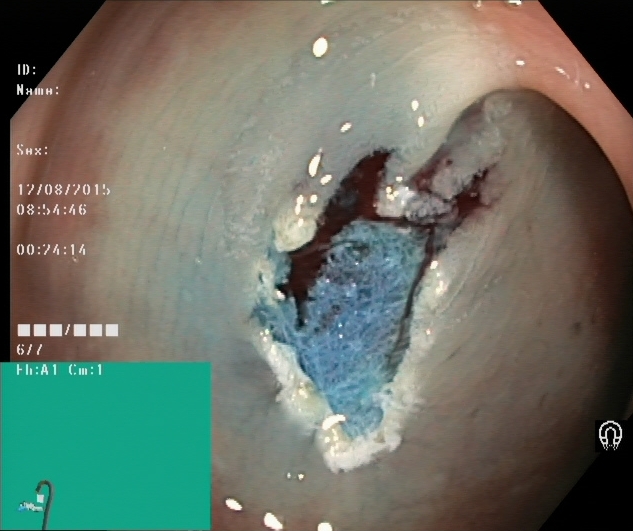Lower gastrointestinal endoscopy. Therapeutic intervention. Finding: dyed resection margins (post-polypectomy).